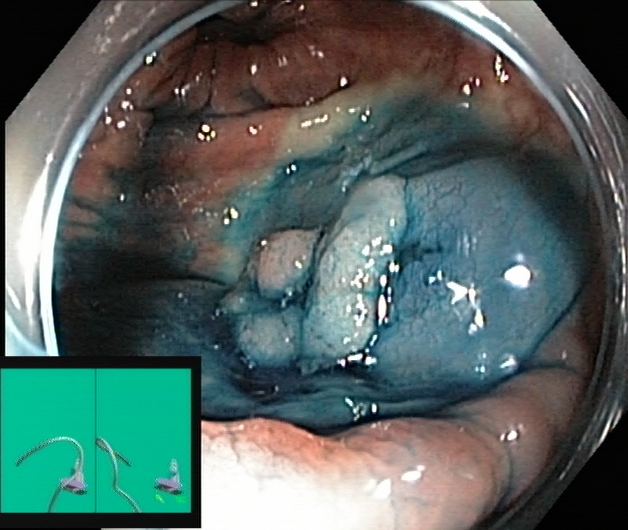modality: lower-GI endoscopy; tract: lower GI tract; category: therapeutic intervention; finding: dyed and lifted polyp (pre-resection)